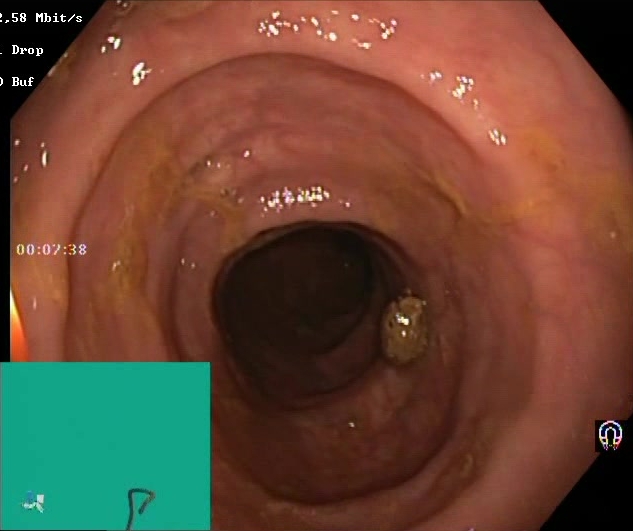Colonoscopy — BBPS score 2–3 (adequate preparation).